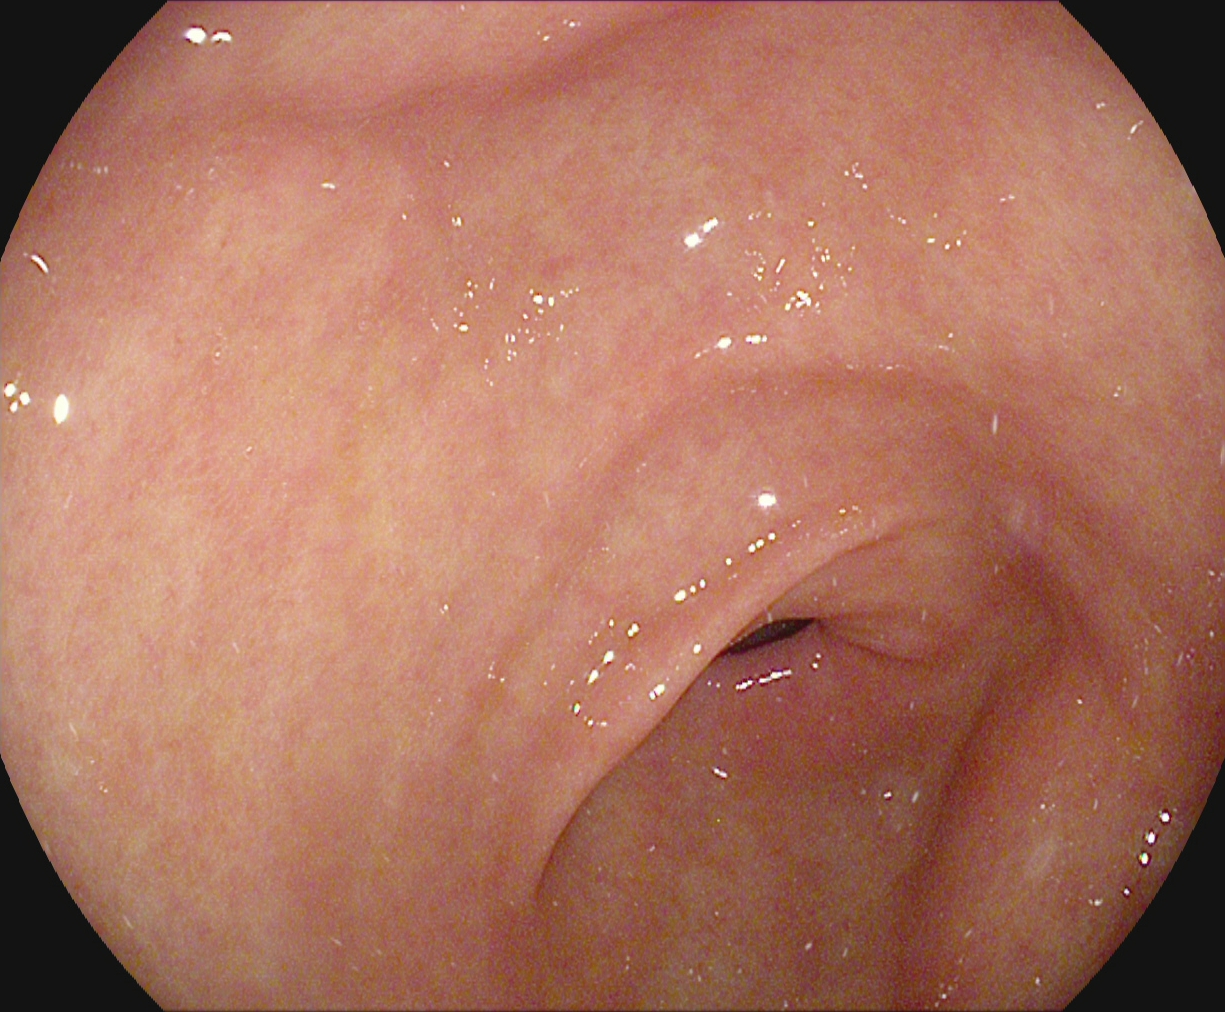PROCEDURE: Upper-GI endoscopy.
CATEGORY: Anatomical landmark.
FINDINGS: Pylorus.